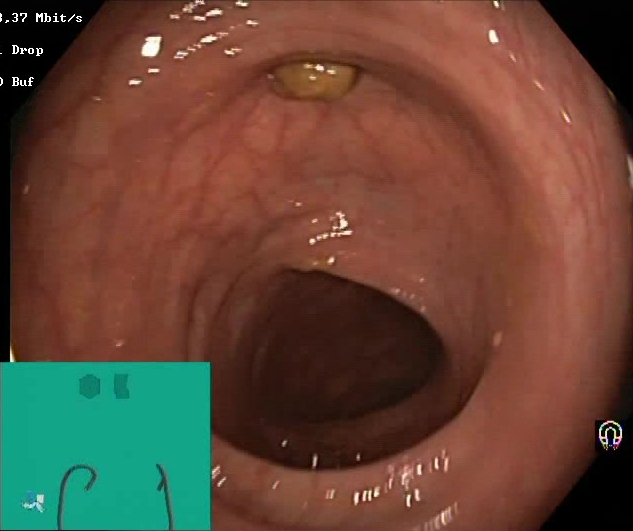PROCEDURE: Lower-GI endoscopy.
FINDINGS: Boston Bowel Preparation Scale score 2–3 (adequate preparation).